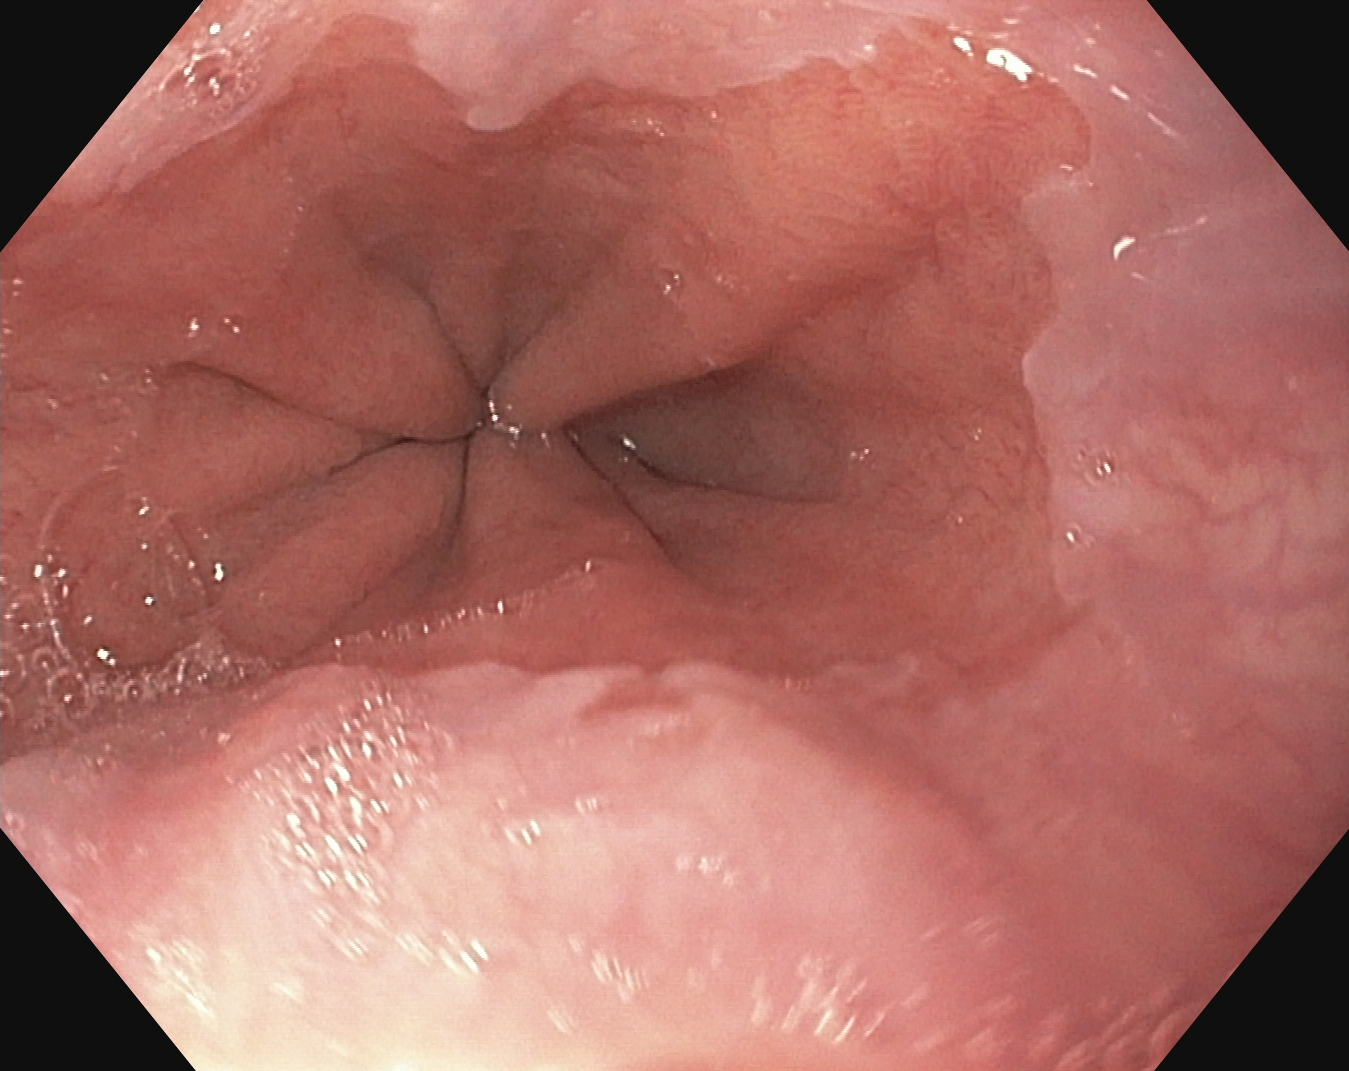PROCEDURE: Upper-GI endoscopy.
CATEGORY: Anatomical landmark.
FINDINGS: Z-line (gastroesophageal junction).